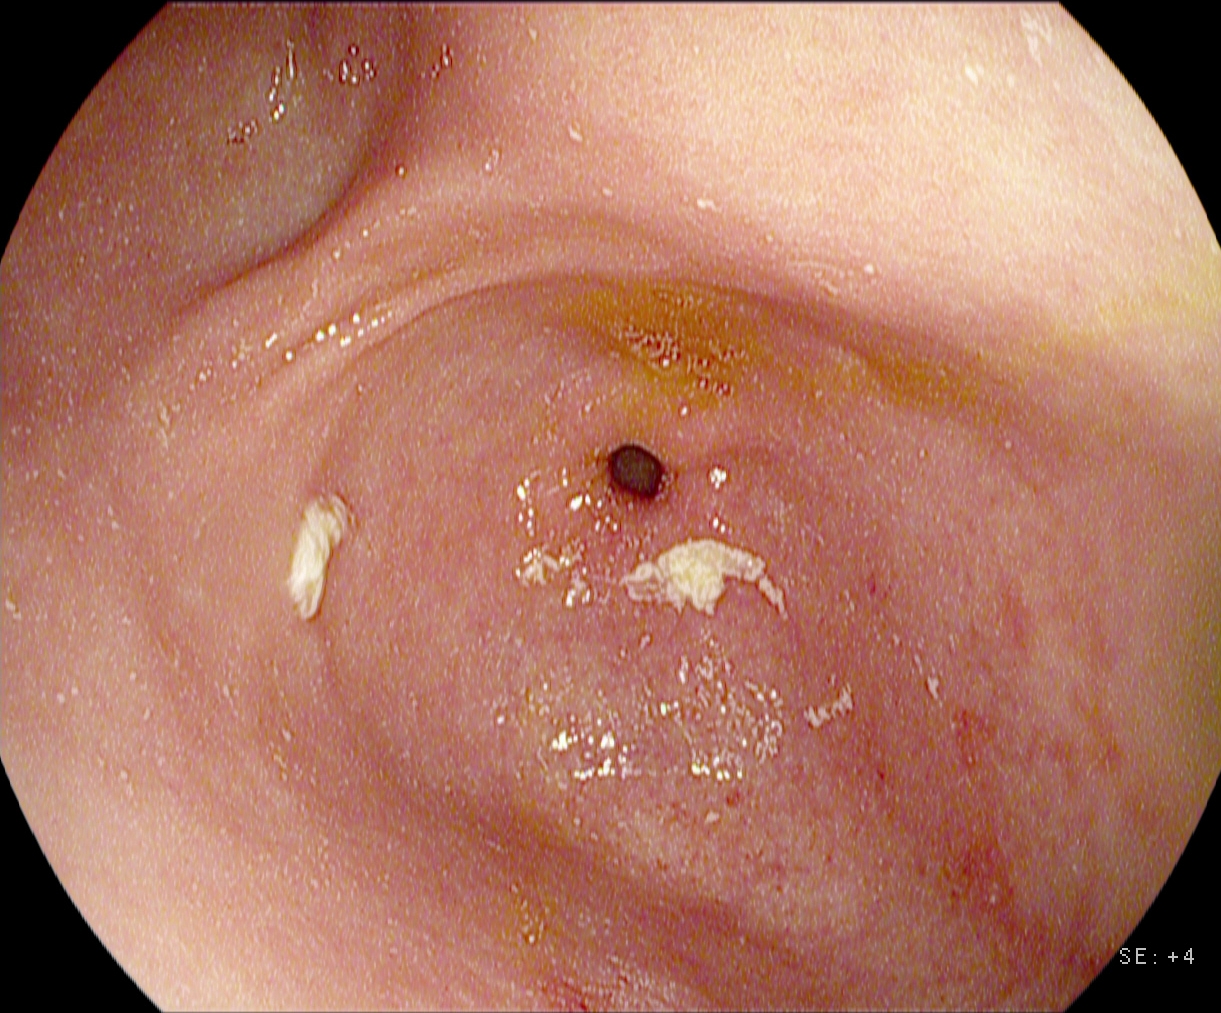EGD. Tract: upper GI tract. Finding: pylorus.